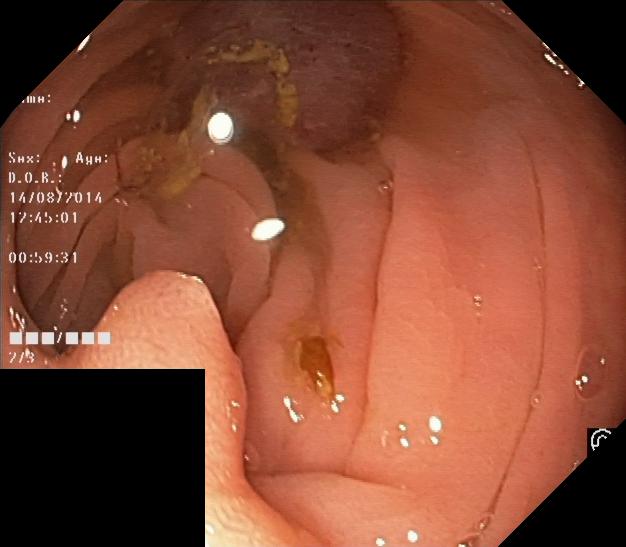PROCEDURE: Colonoscopy.
CATEGORY: Pathological finding.
FINDINGS: Colorectal polyp(s).